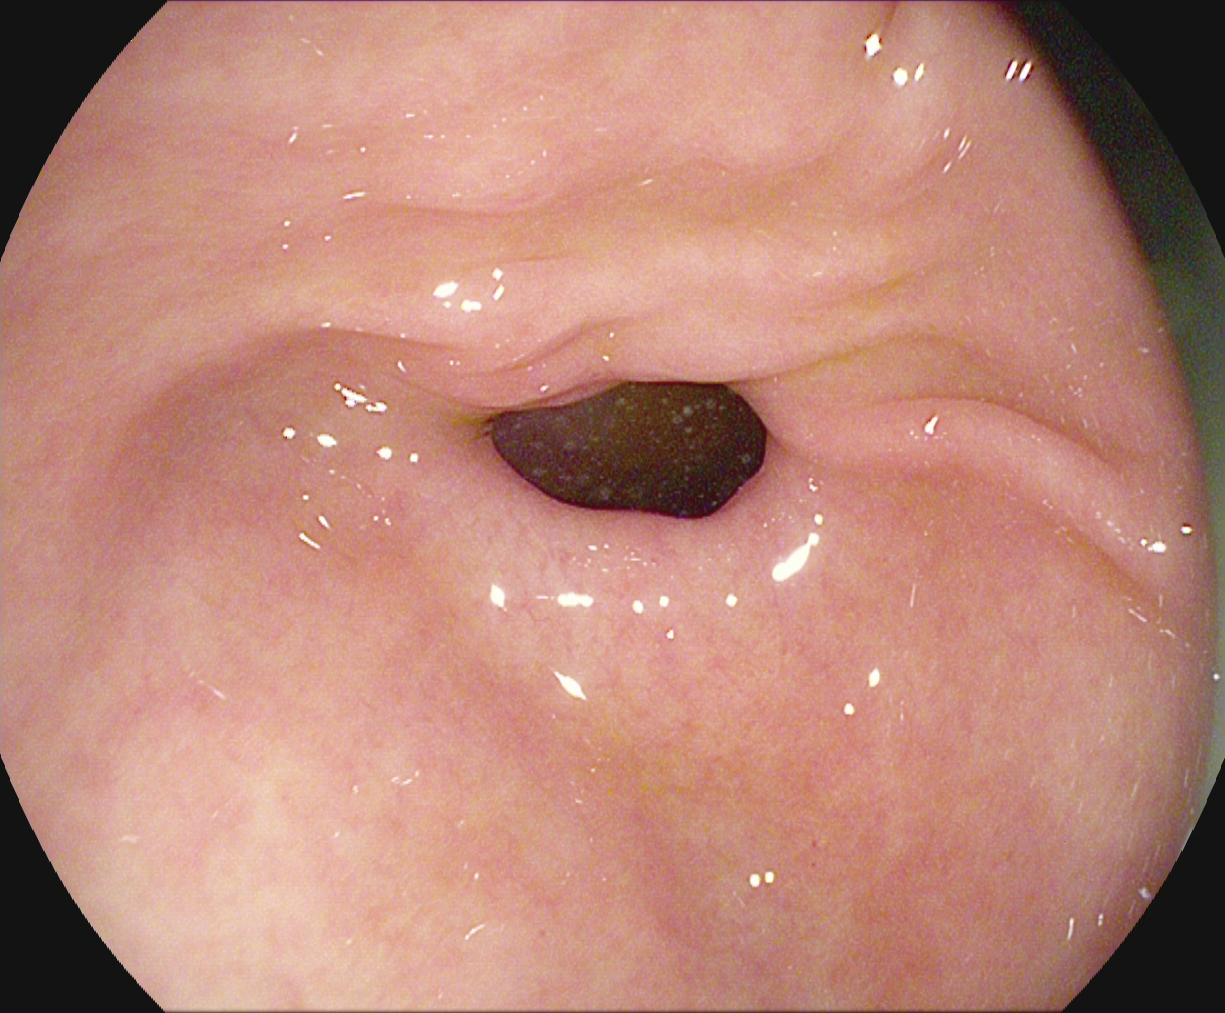EGD. Tract: upper GI tract. Anatomical landmark. Finding: pylorus.